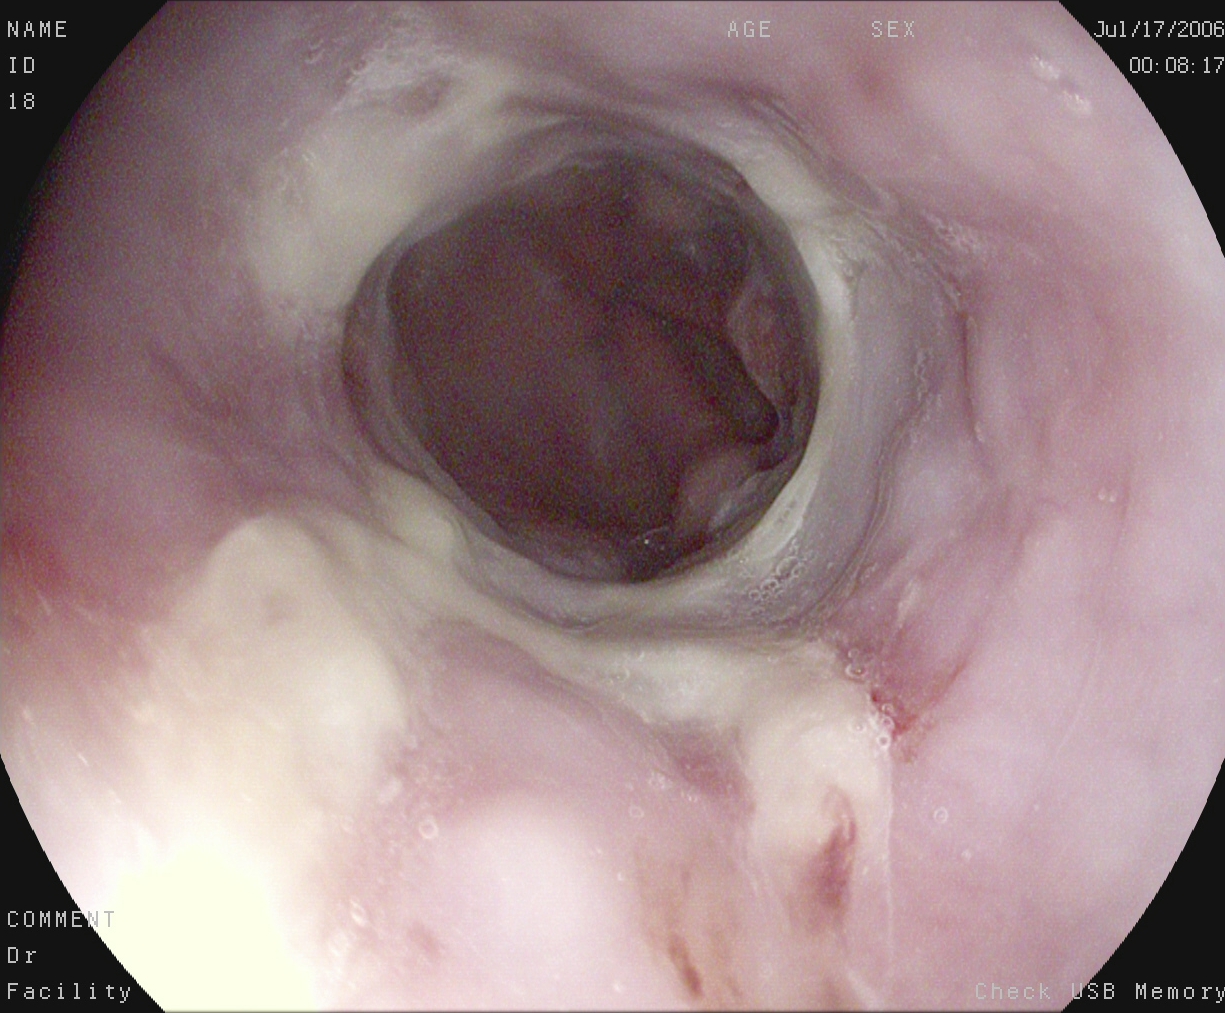PROCEDURE: EGD.
FINDINGS: Reflux esophagitis, Los Angeles grade B–D.